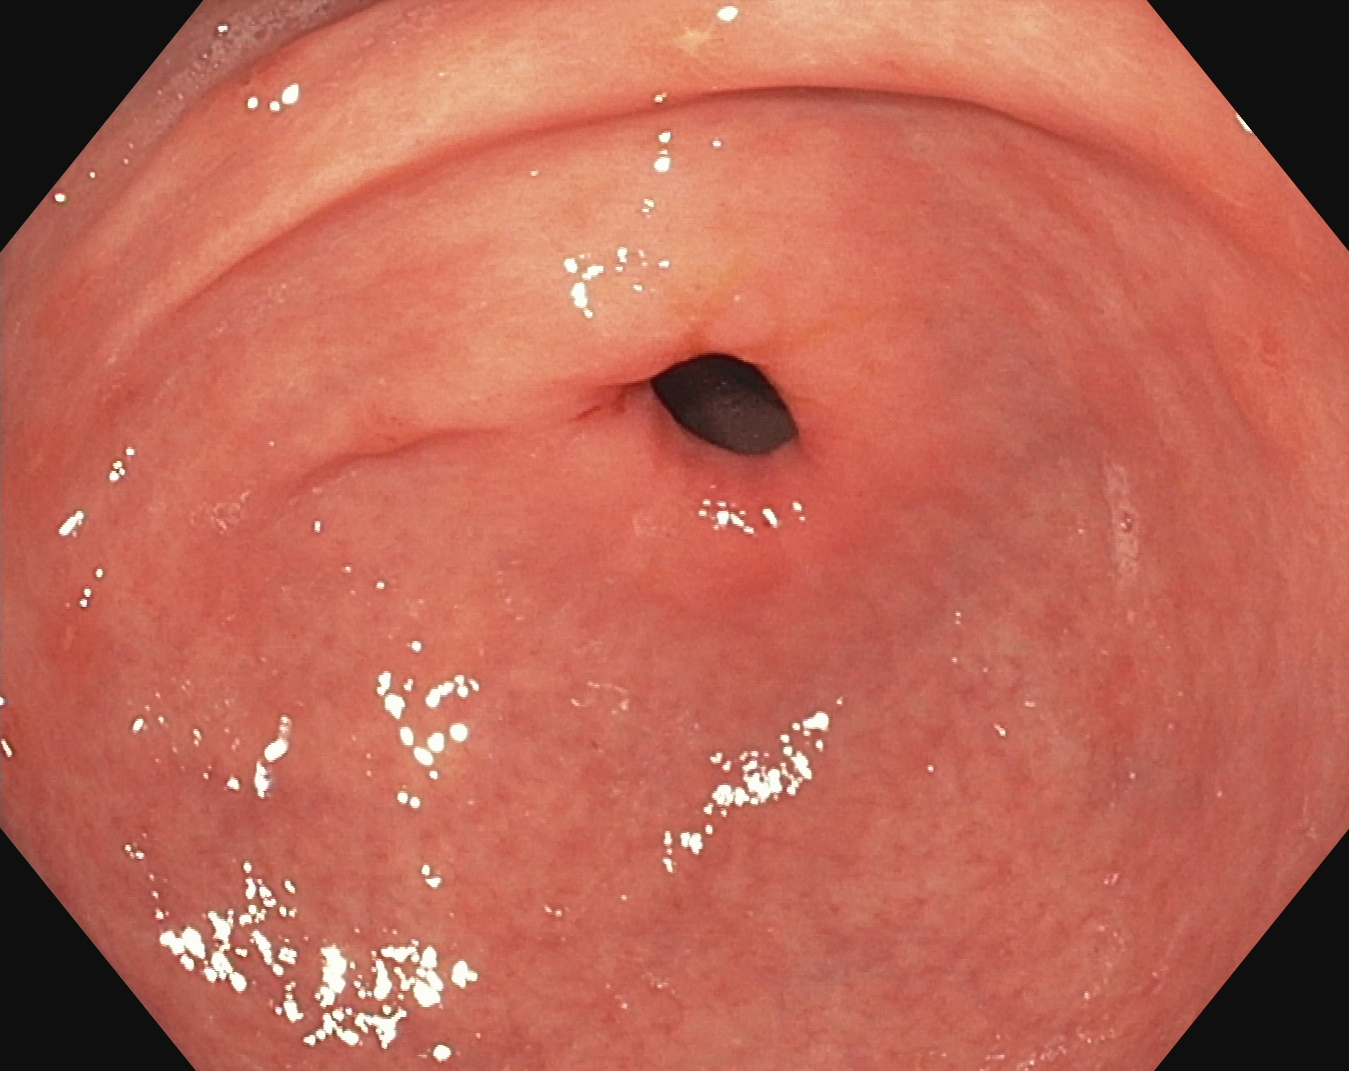modality: upper-GI endoscopy
finding: pylorus